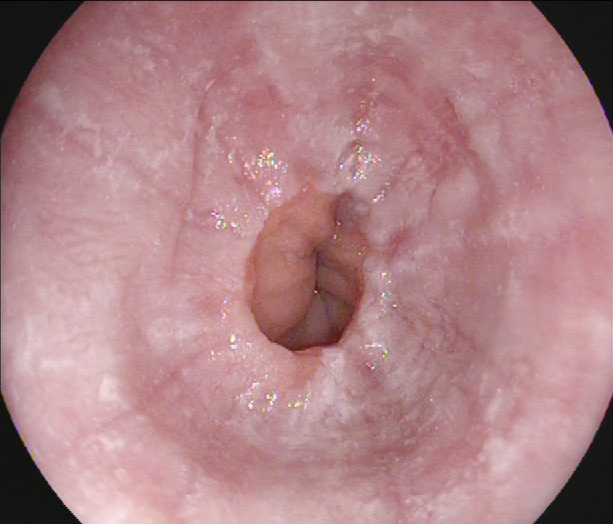Gastroscopy — reflux esophagitis, Los Angeles grade A.